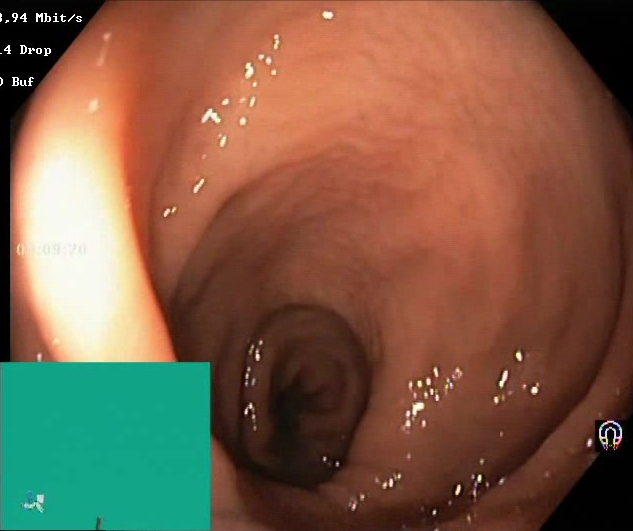This endoscopy frame shows Boston Bowel Preparation Scale score 2–3 (adequate preparation).